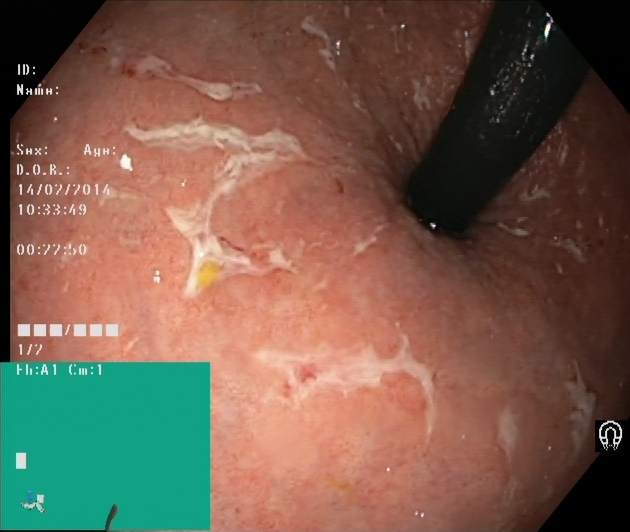Colonoscopy image of the lower GI tract showing rectum in retroflexion.